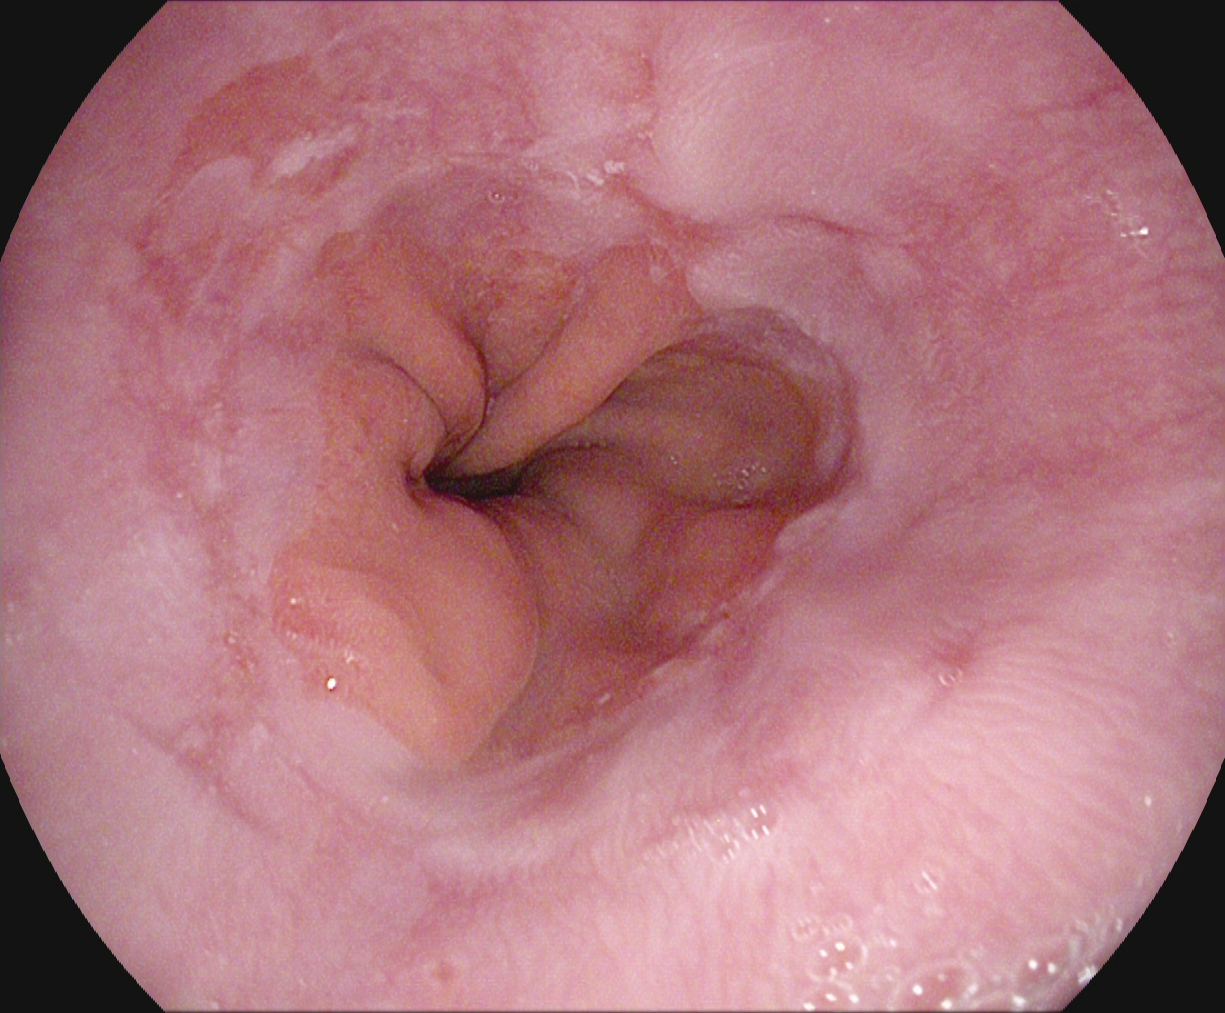modality: gastroscopy; tract: upper GI tract; finding: reflux esophagitis, Los Angeles grade A